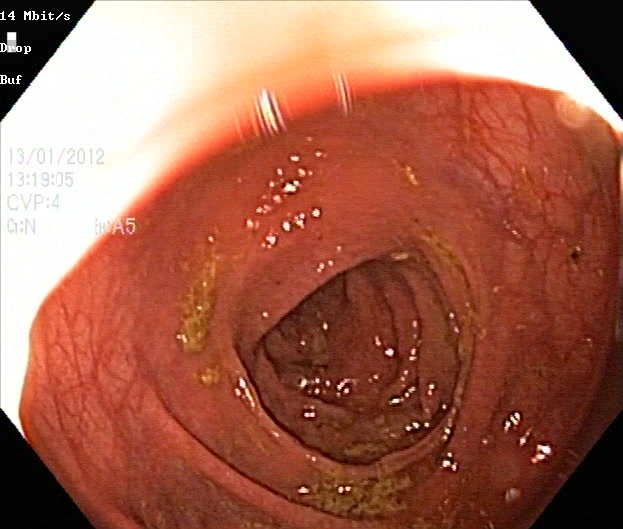Endoscopic image of the lower GI tract showing UC, Mayo endoscopic subscore 1.